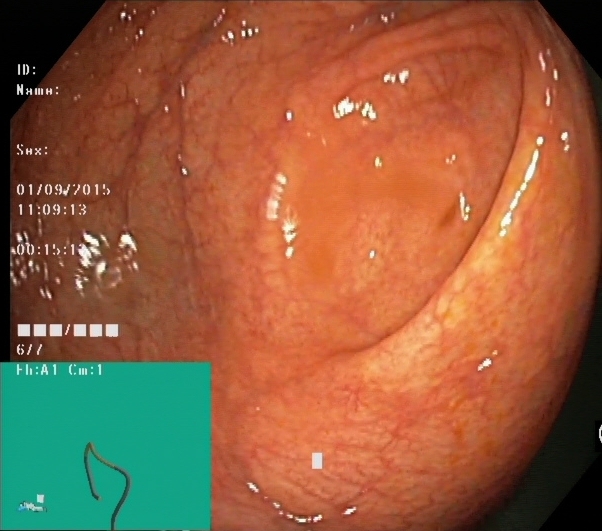Lower-GI endoscopy image of the lower GI tract showing cecum.